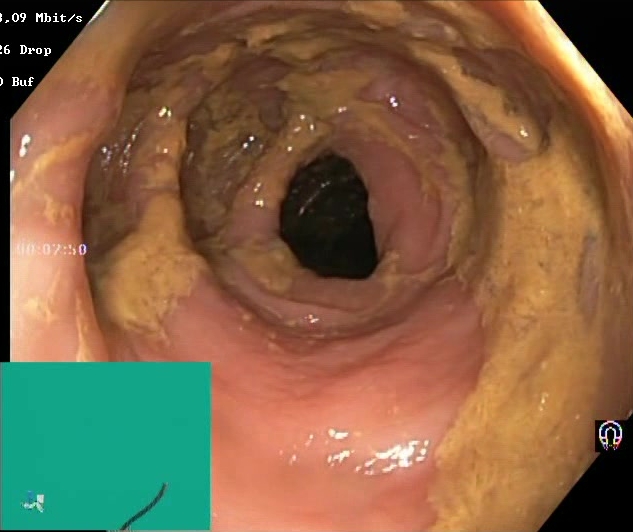PROCEDURE: Colonoscopy.
CATEGORY: Mucosal-view quality.
FINDINGS: BBPS score 0–1 (inadequate preparation).